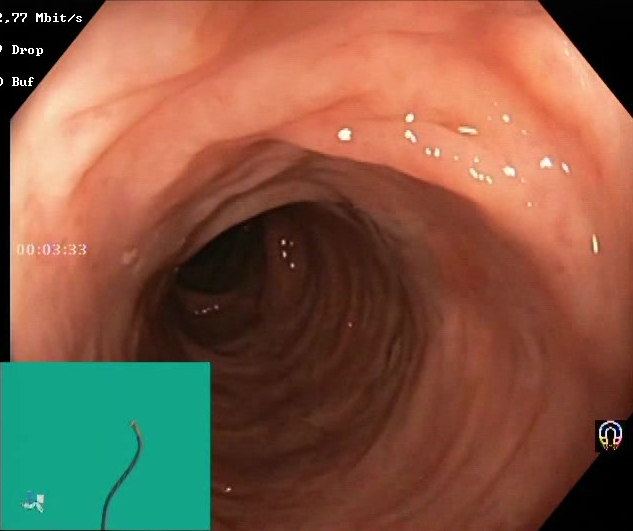Colonoscopy. Finding: Boston Bowel Preparation Scale score 2–3 (adequate preparation).